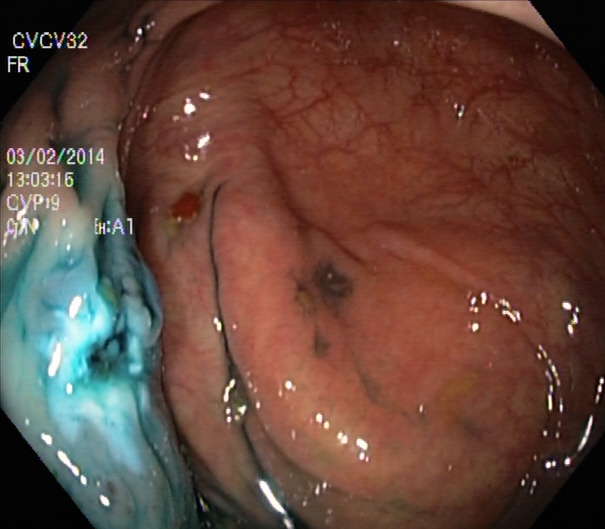{"modality": "lower-GI endoscopy", "category": "therapeutic intervention", "finding": "dyed resection margins (post-polypectomy)"}